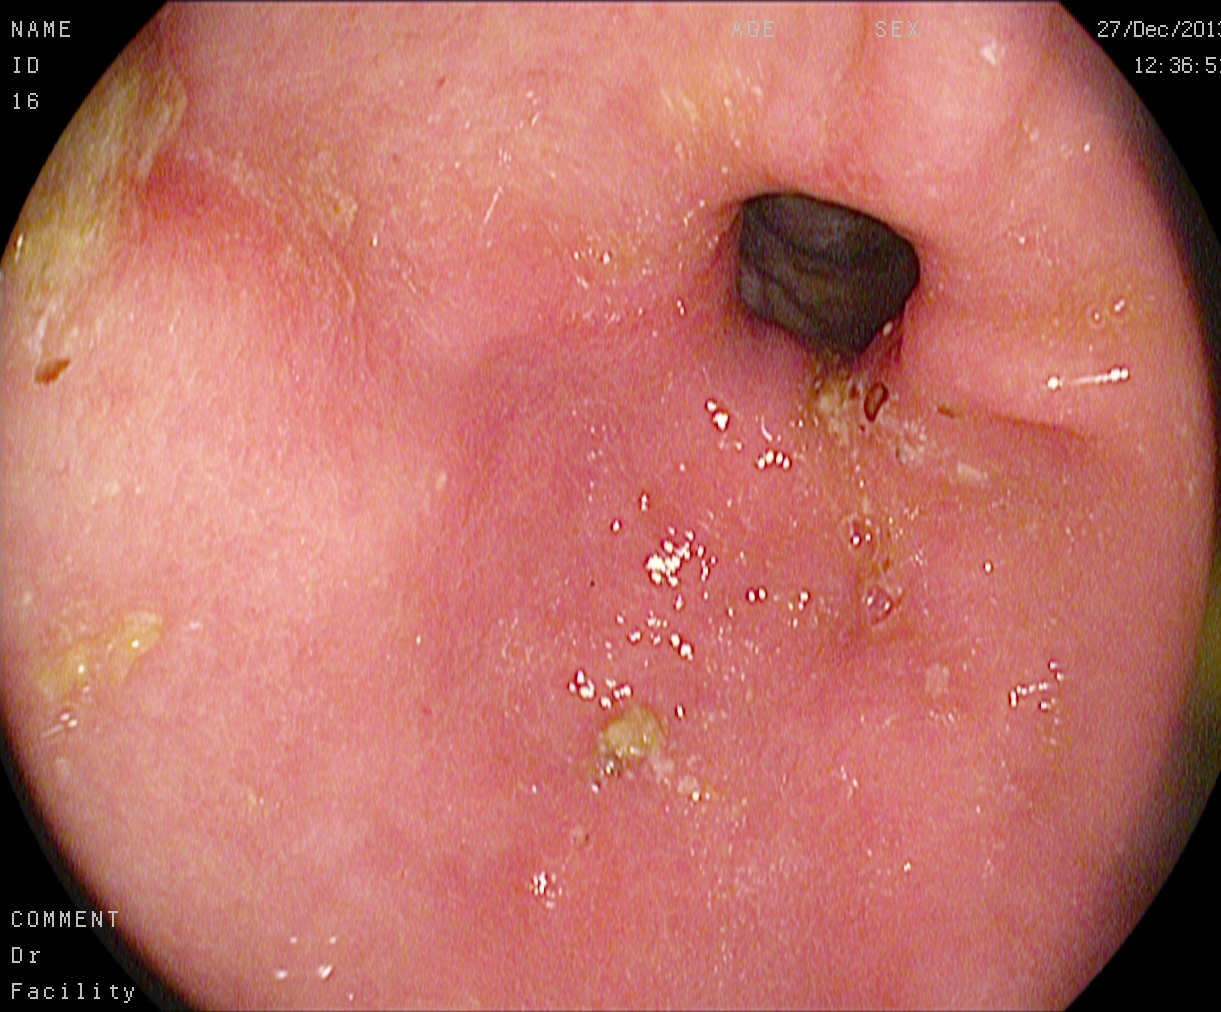modality: EGD
finding: pylorus